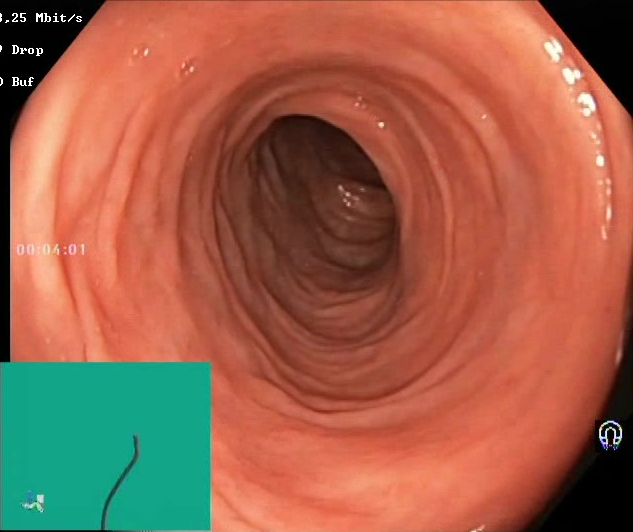Boston Bowel Preparation Scale score 2–3 (adequate preparation).